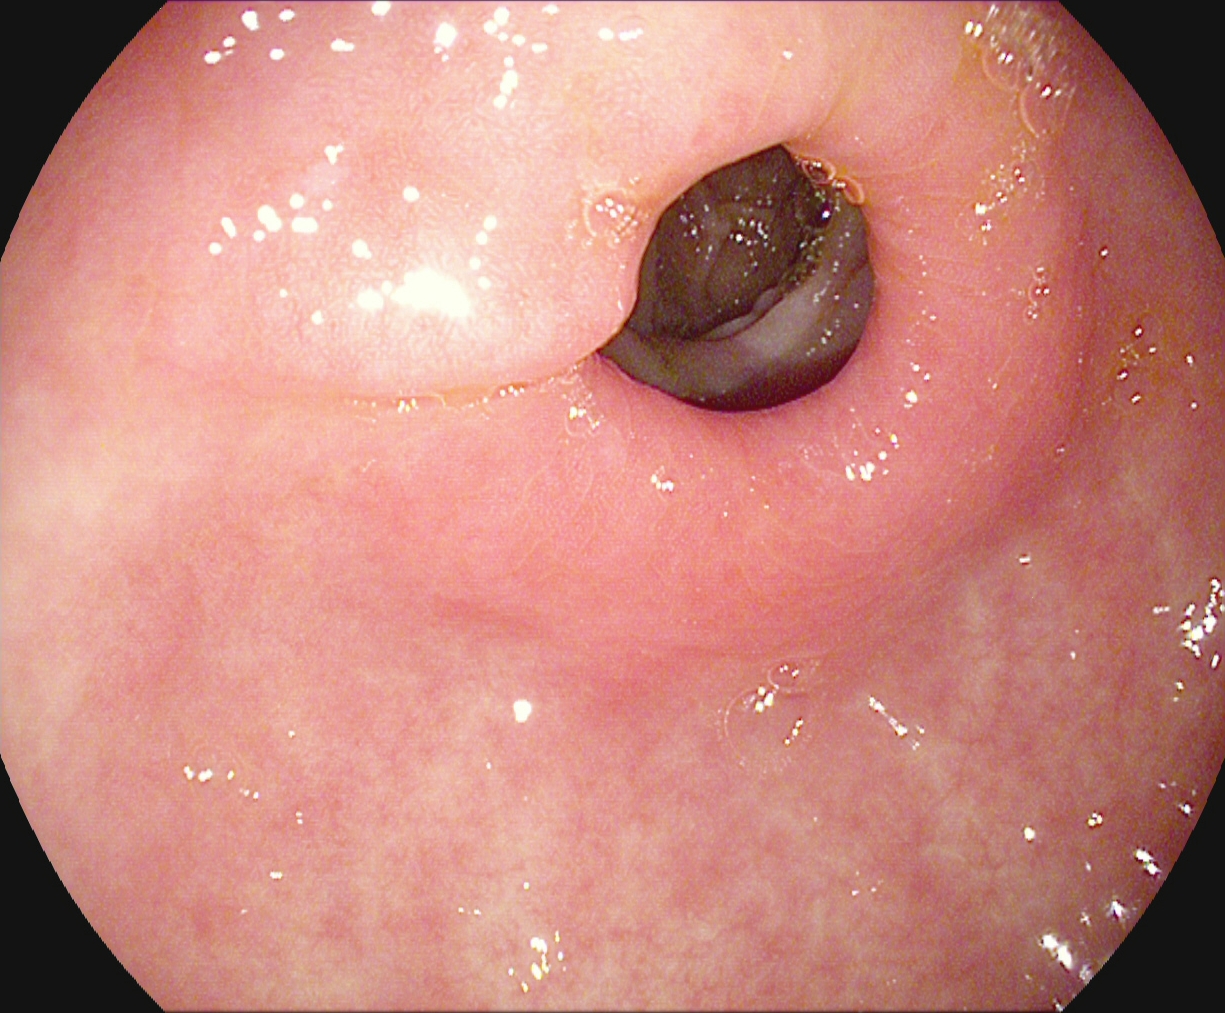Gastroscopy — pylorus.